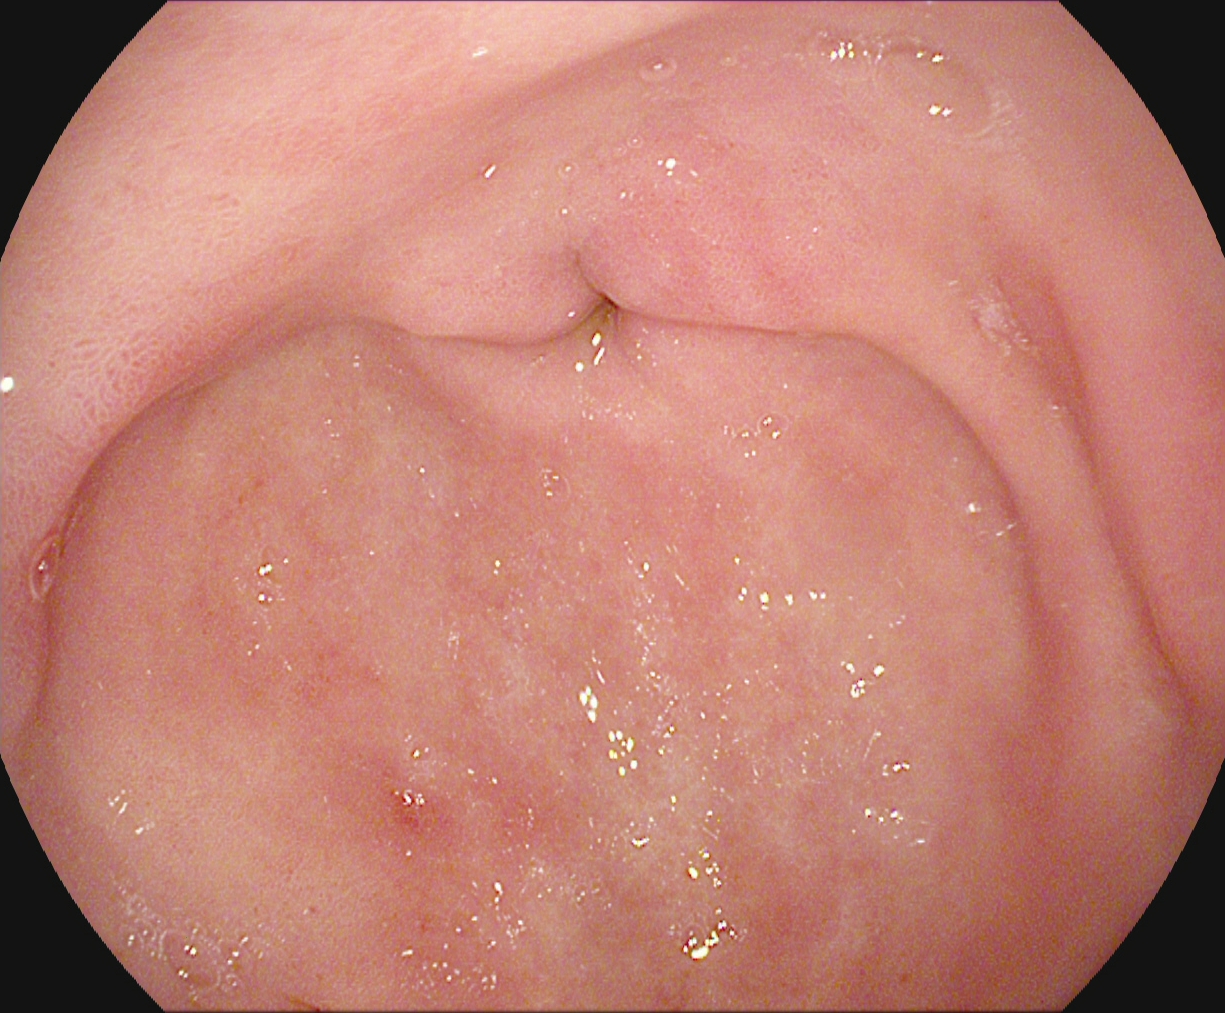This endoscopic image shows pylorus.